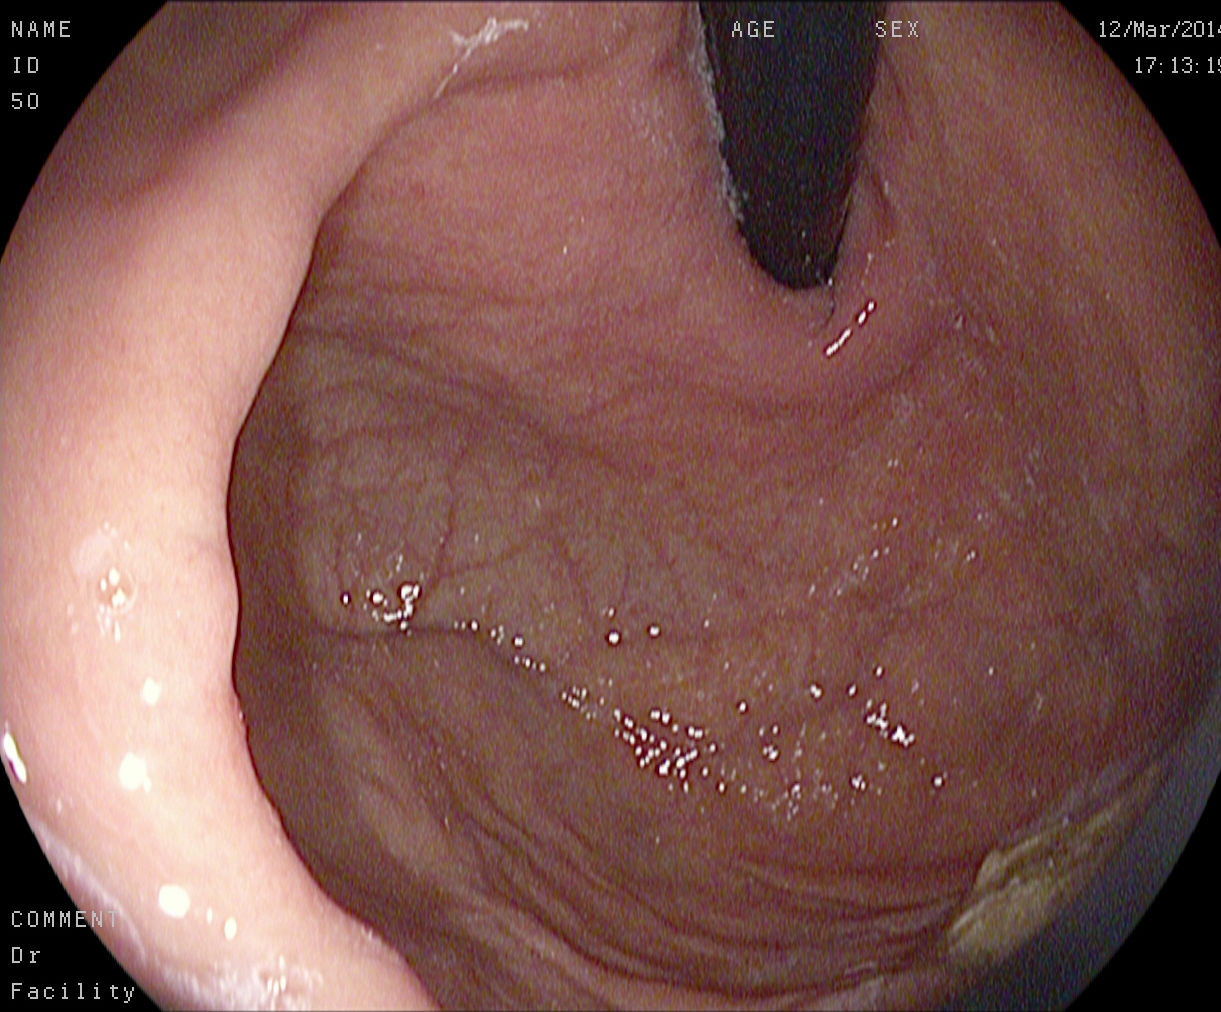EGD. Tract: upper GI tract. Finding: stomach in retroflexion.